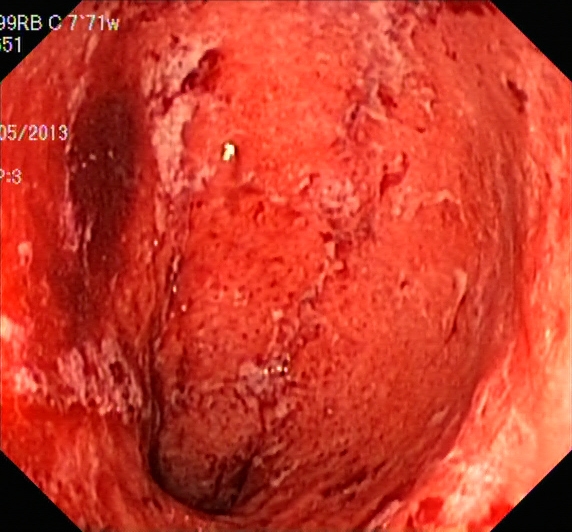modality: lower gastrointestinal endoscopy | finding: ulcerative colitis, Mayo endoscopic subscore 3